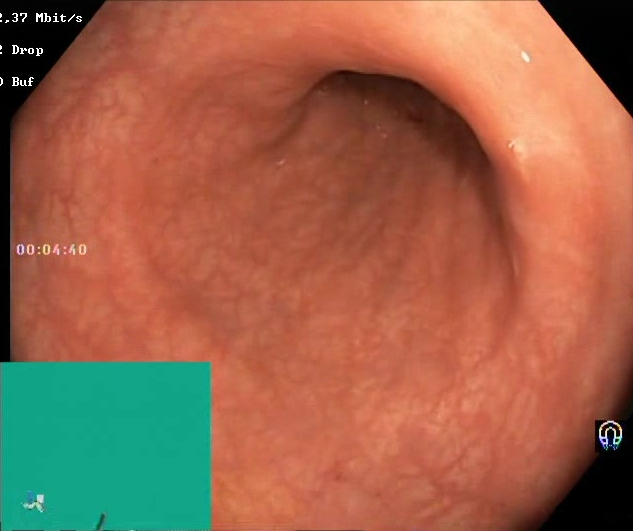Boston Bowel Preparation Scale score 2–3 (adequate preparation).